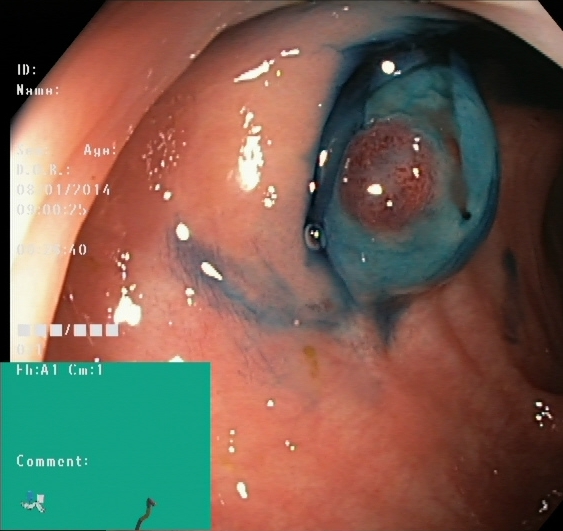Endoscopic frame of the lower GI tract showing dyed and lifted polyp (pre-resection).